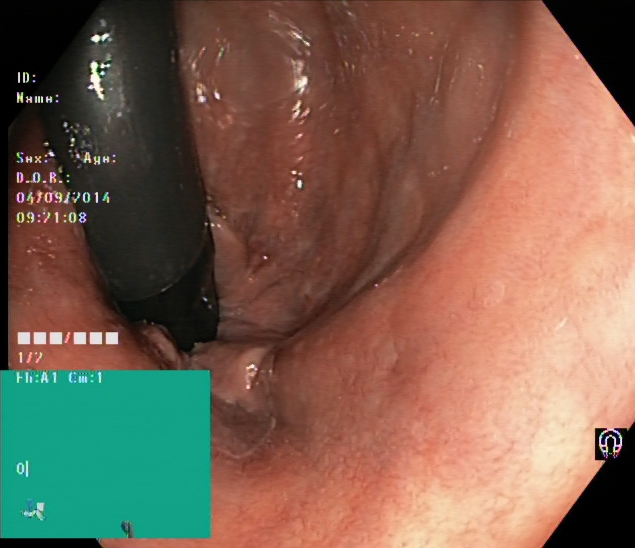Lower gastrointestinal endoscopy. Finding: rectum in retroflexion.